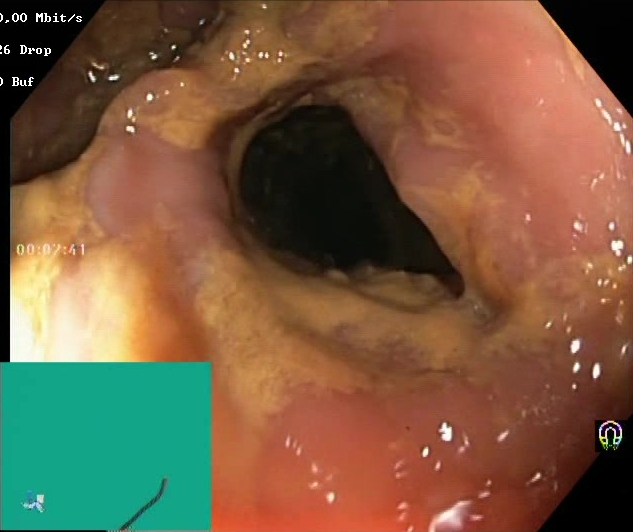This endoscopy frame of the lower GI tract shows Boston Bowel Preparation Scale score 0–1 (inadequate preparation).